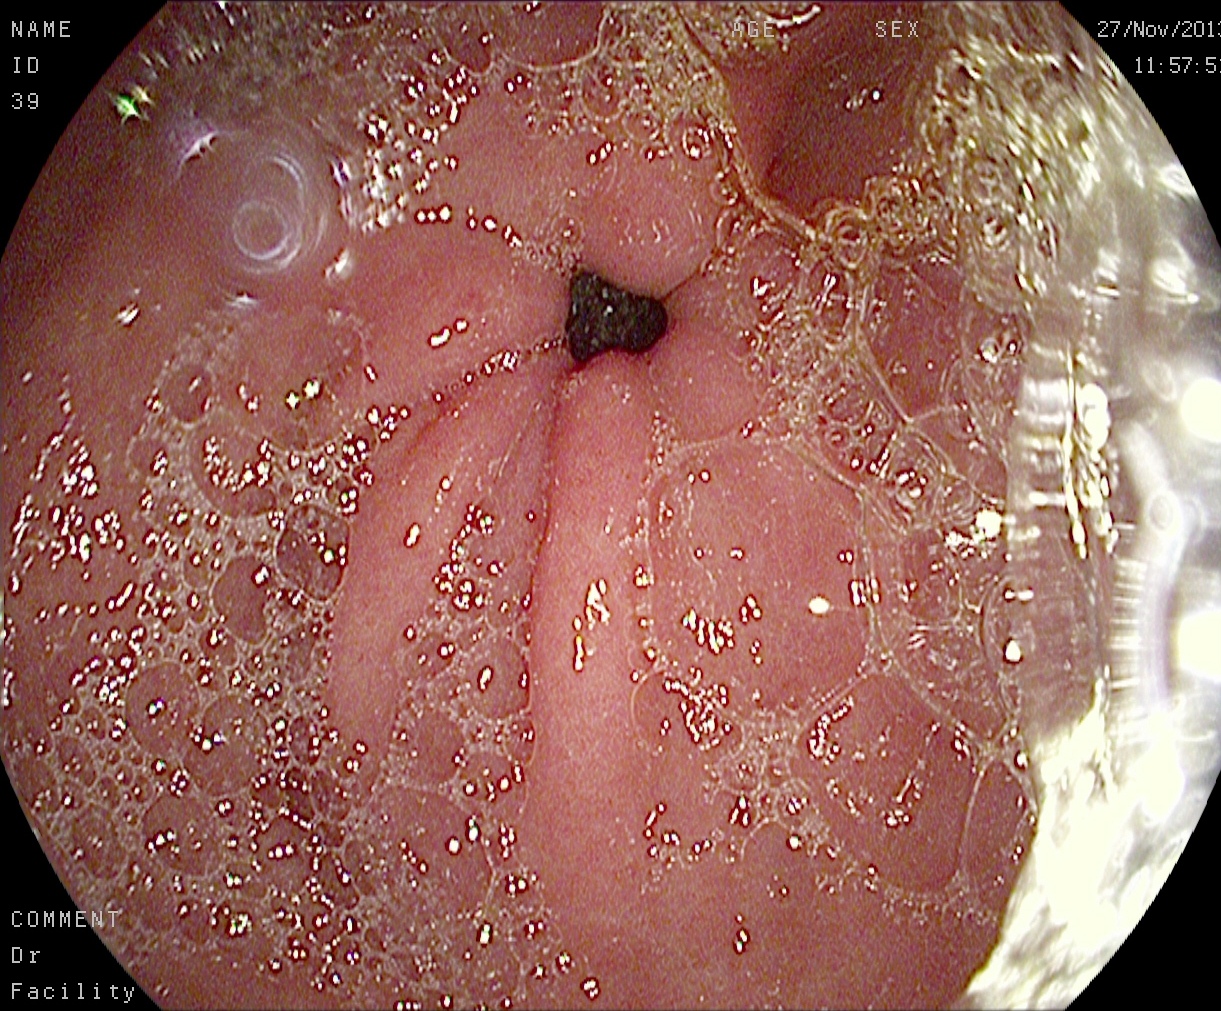{"modality": "gastroscopy", "finding": "pylorus"}